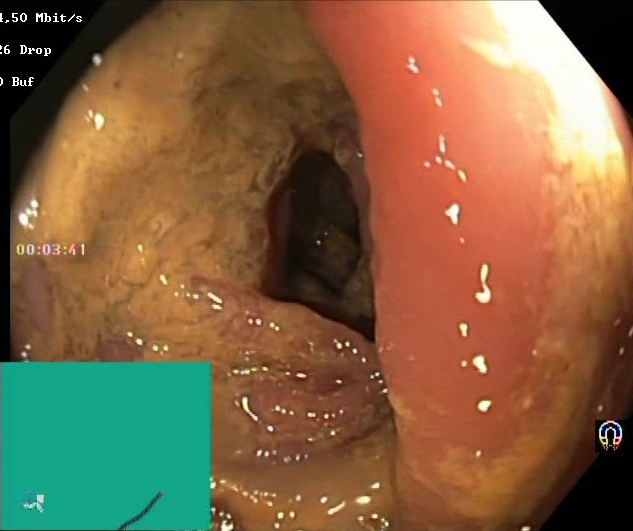Colonoscopy. Tract: lower GI tract. Mucosal-view quality. Finding: Boston Bowel Preparation Scale score 0–1 (inadequate preparation).